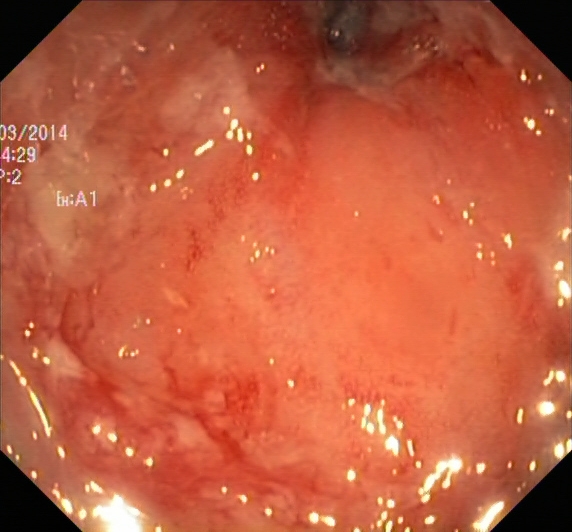{"modality": "lower-GI endoscopy", "tract": "lower GI tract", "category": "pathological finding", "finding": "ulcerative colitis, Mayo endoscopic subscore 3"}